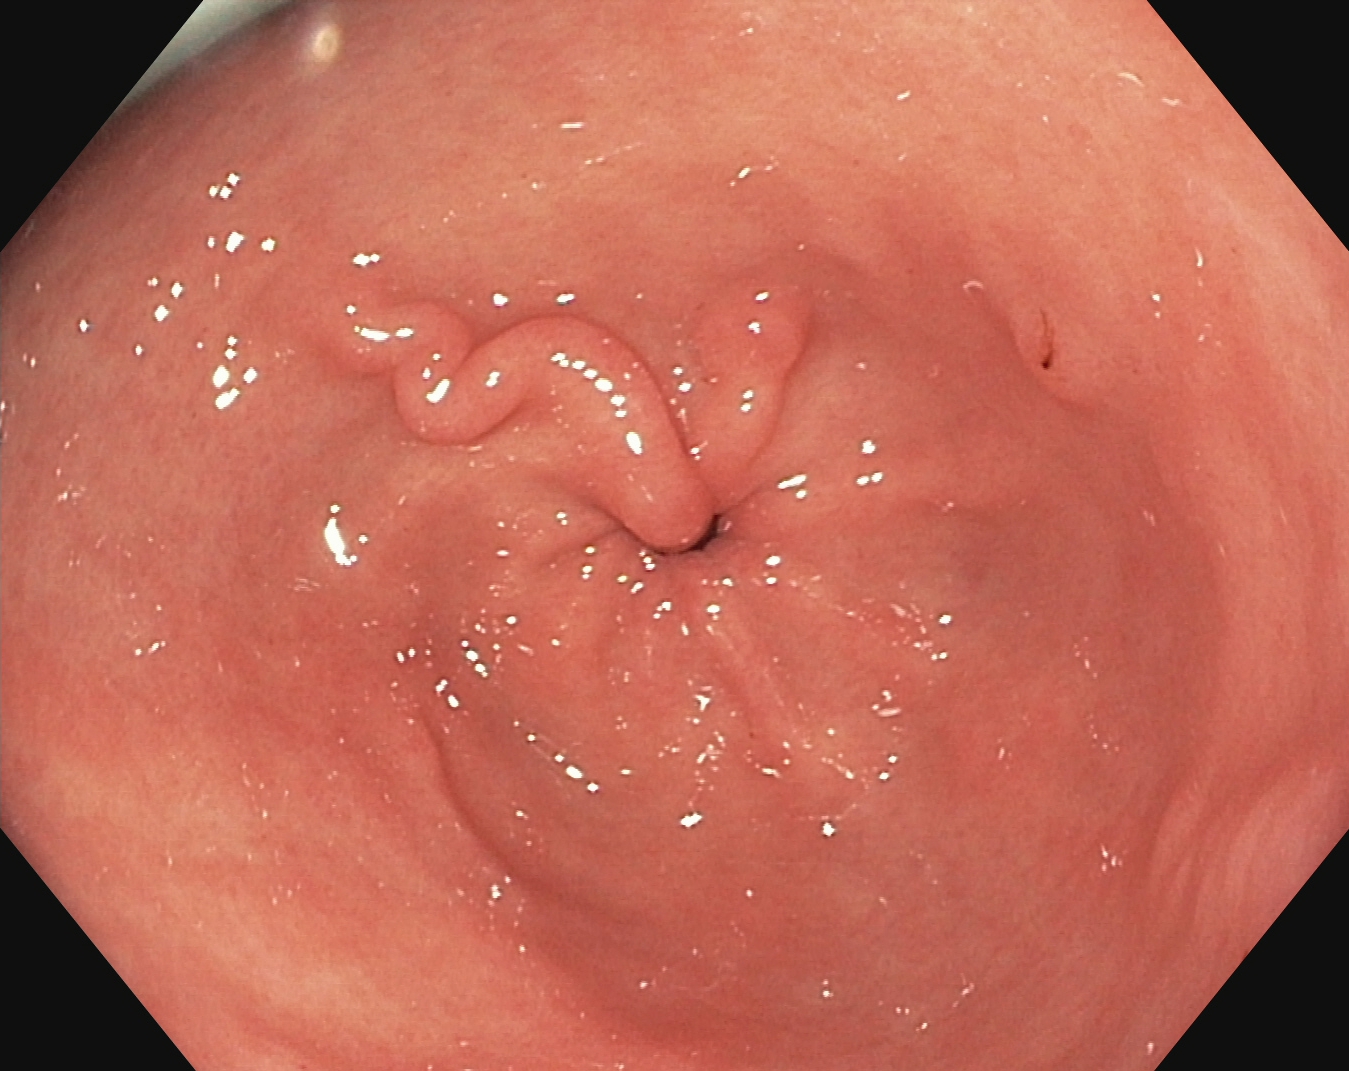PROCEDURE: Upper-GI endoscopy.
CATEGORY: Anatomical landmark.
FINDINGS: Pylorus.